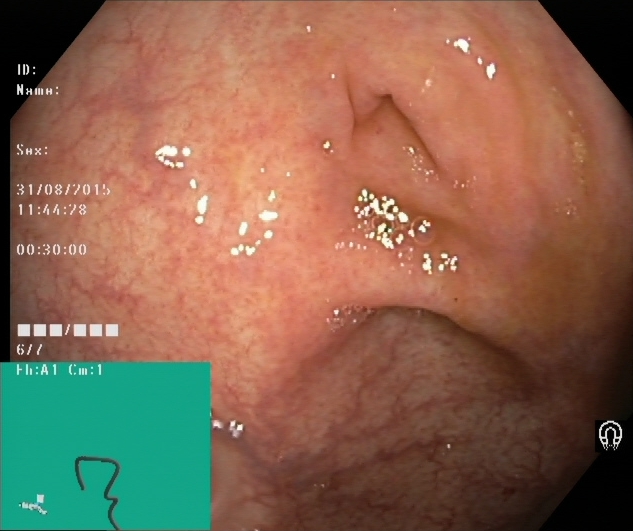Lower gastrointestinal endoscopy image of the lower GI tract showing cecum.